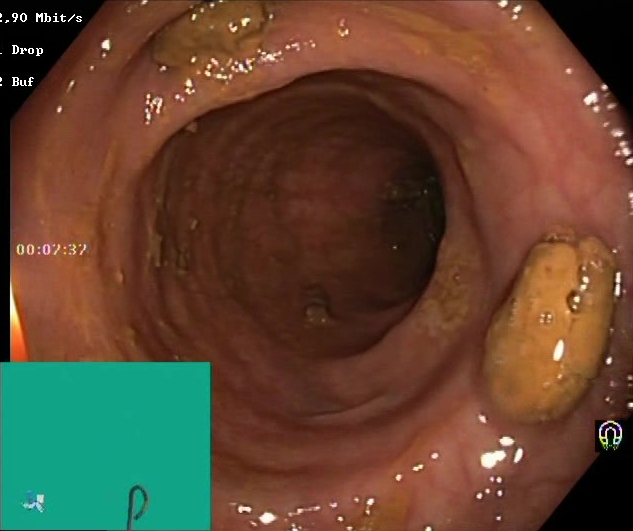Endoscopic image of the lower GI tract showing impacted stool.